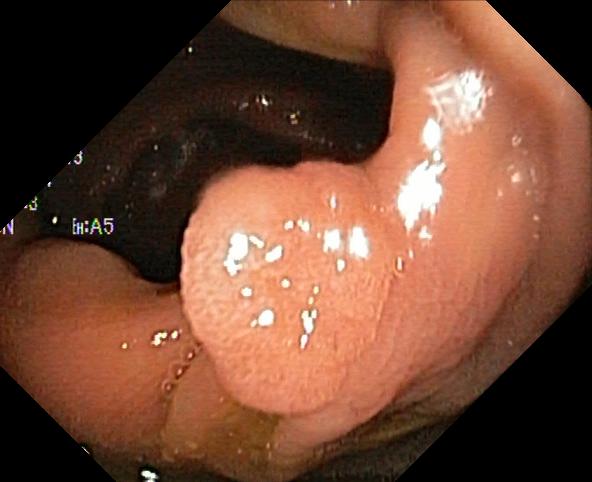modality: lower-GI endoscopy; category: pathological finding; finding: colorectal polyp(s)